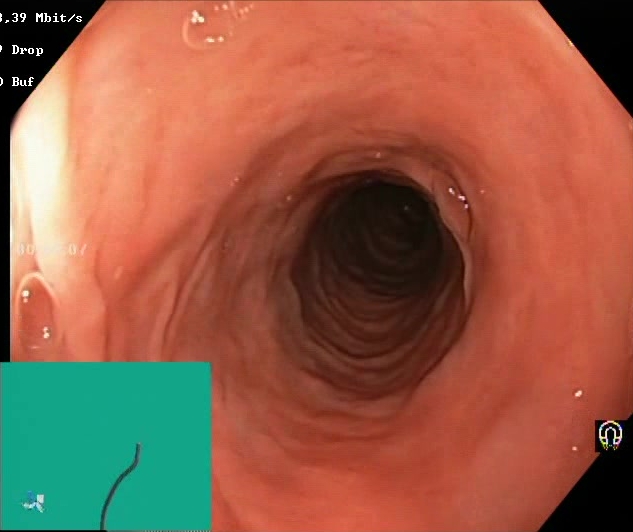PROCEDURE: Colonoscopy.
FINDINGS: Boston Bowel Preparation Scale score 2–3 (adequate preparation).